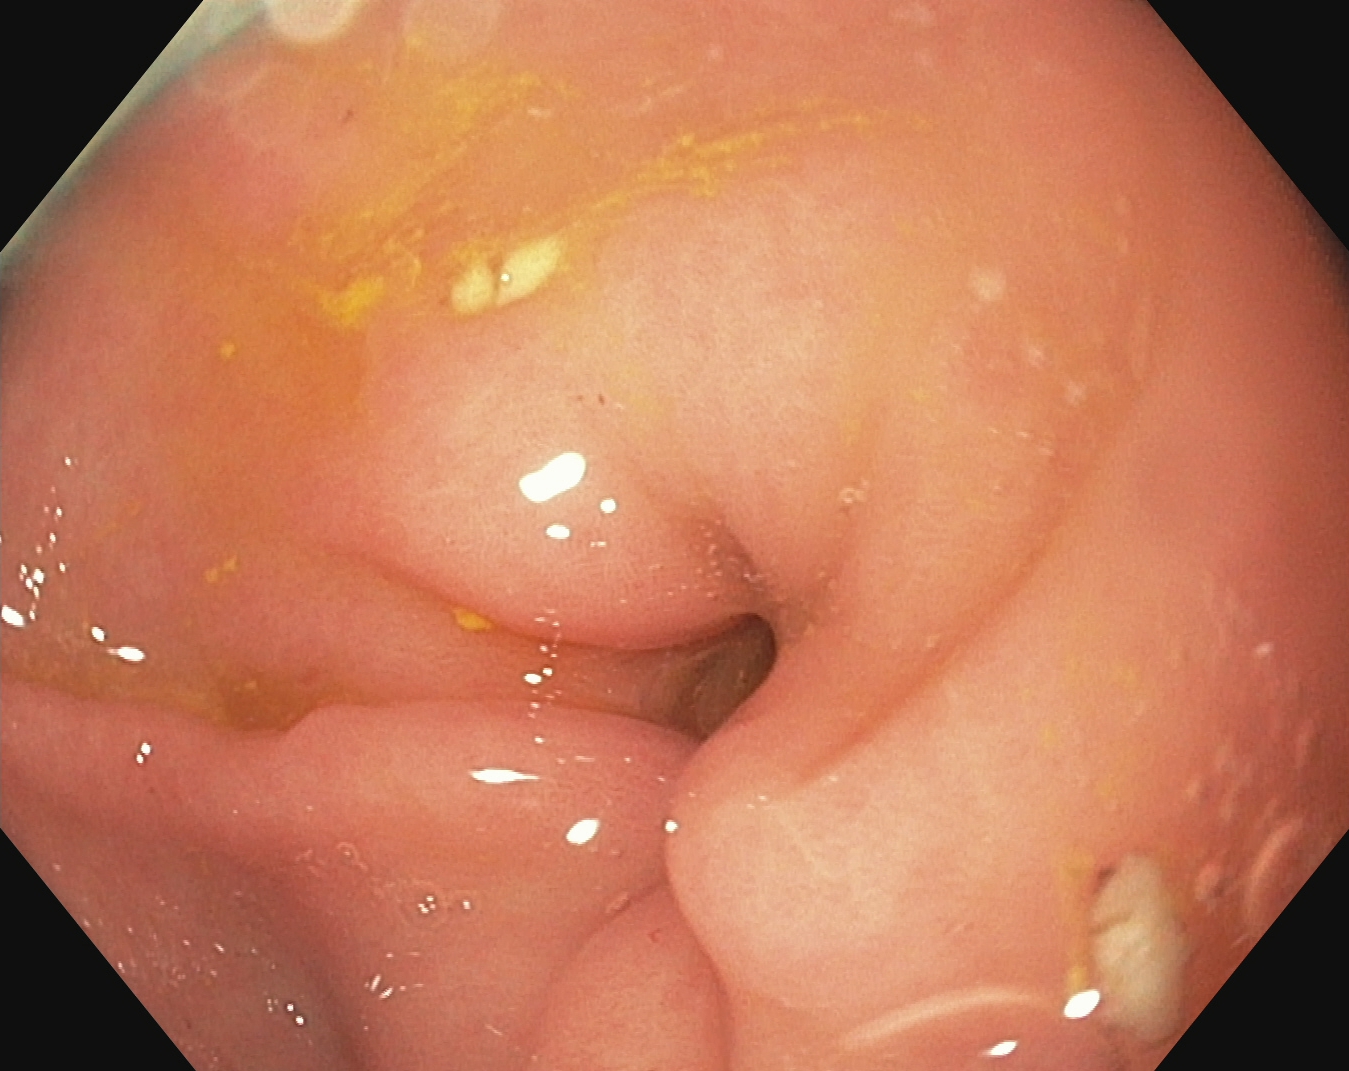EGD. Anatomical landmark. Finding: pylorus.